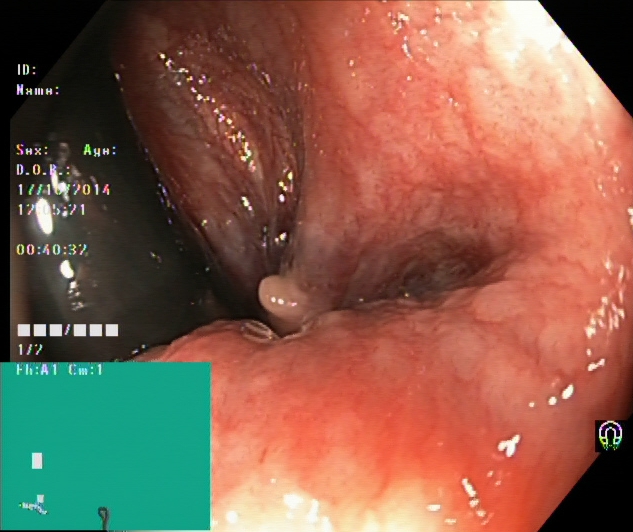Endoscopic frame of the lower GI tract showing rectum in retroflexion.